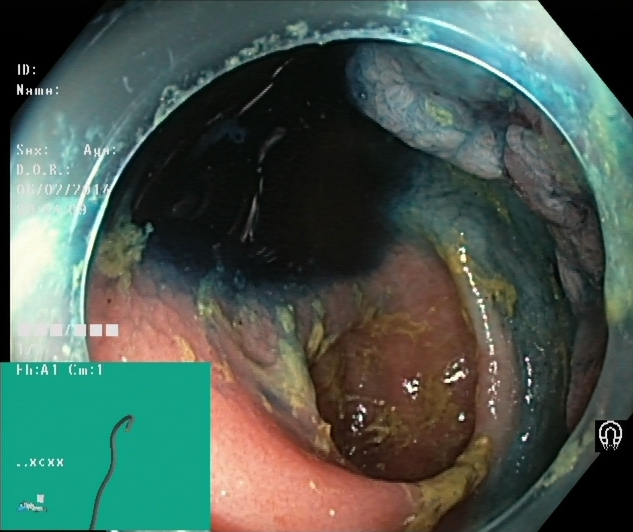Dyed resection margins (post-polypectomy).